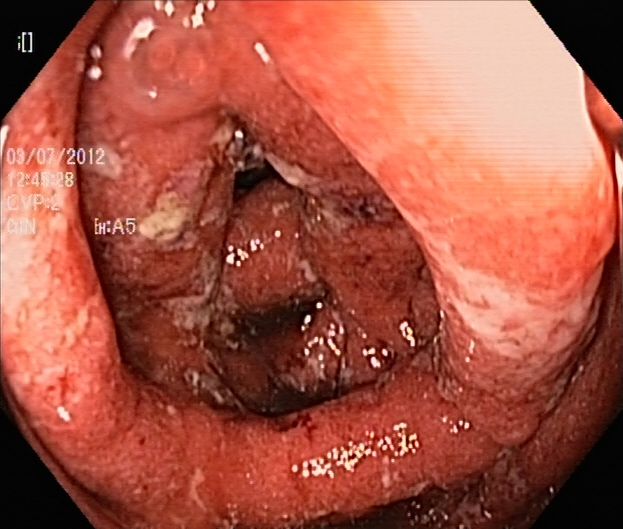PROCEDURE: Lower gastrointestinal endoscopy.
CATEGORY: Pathological finding.
FINDINGS: Ulcerative colitis, Mayo endoscopic subscore 3.